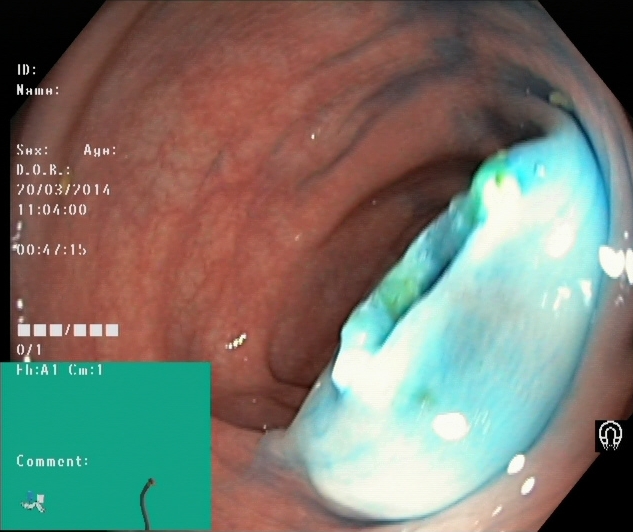Dyed resection margins (post-polypectomy).